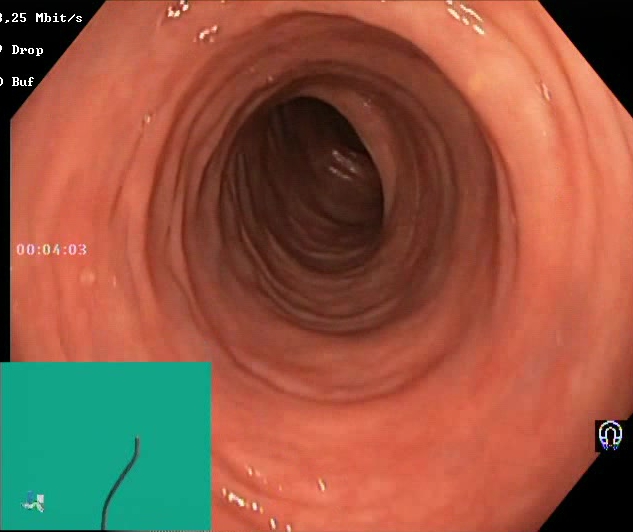This endoscopic image of the lower GI tract shows Boston Bowel Preparation Scale score 2–3 (adequate preparation).